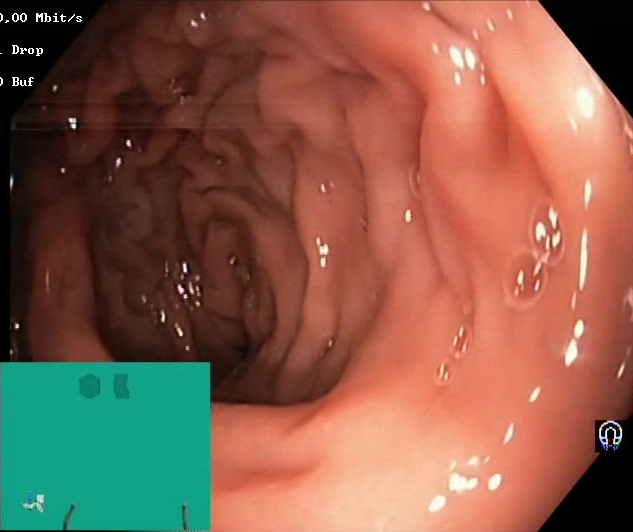Lower gastrointestinal endoscopy — Boston Bowel Preparation Scale score 2–3 (adequate preparation).